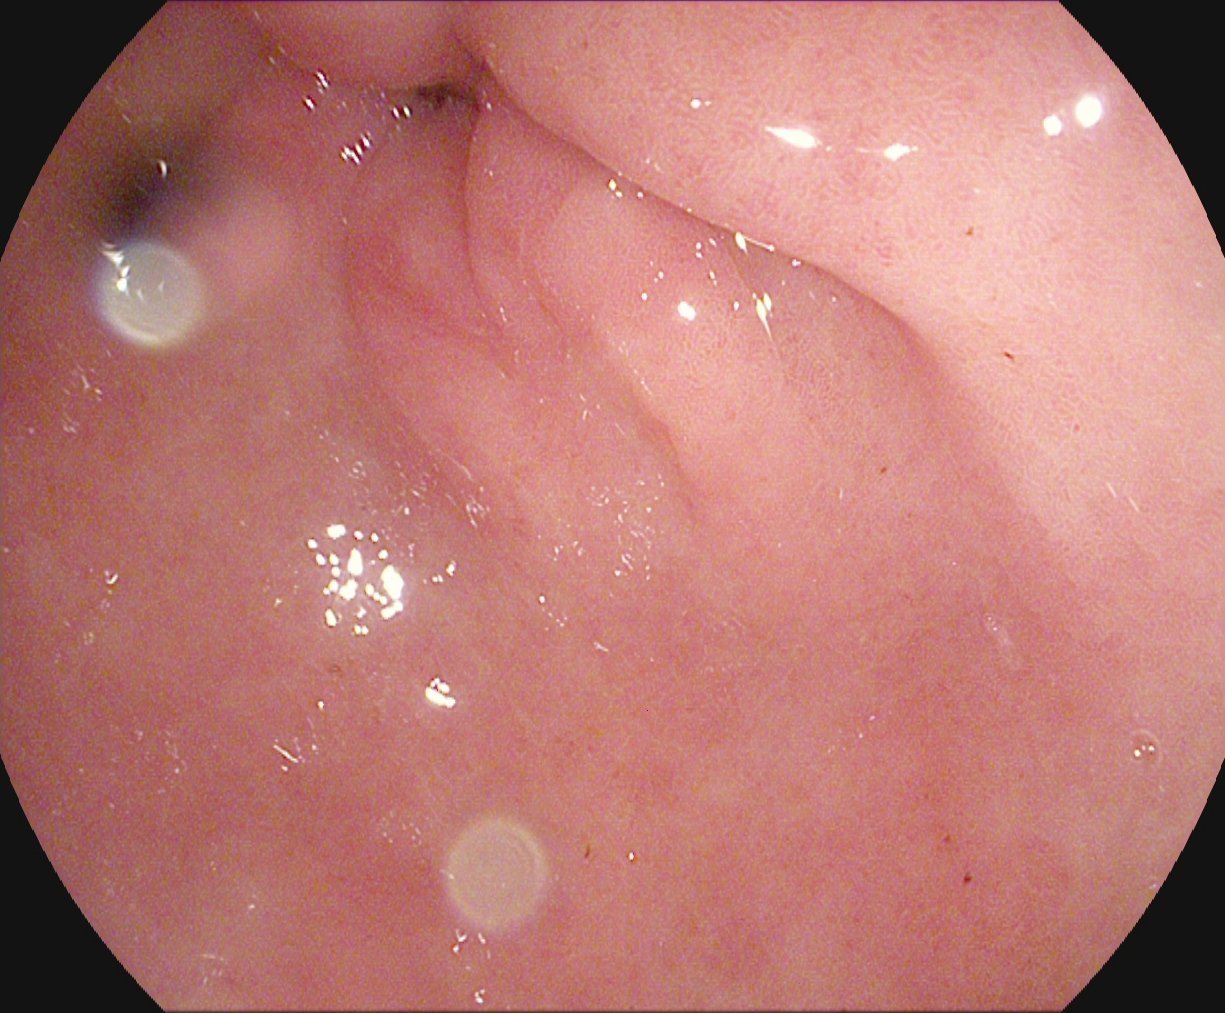Esophagogastroduodenoscopy image showing pylorus.